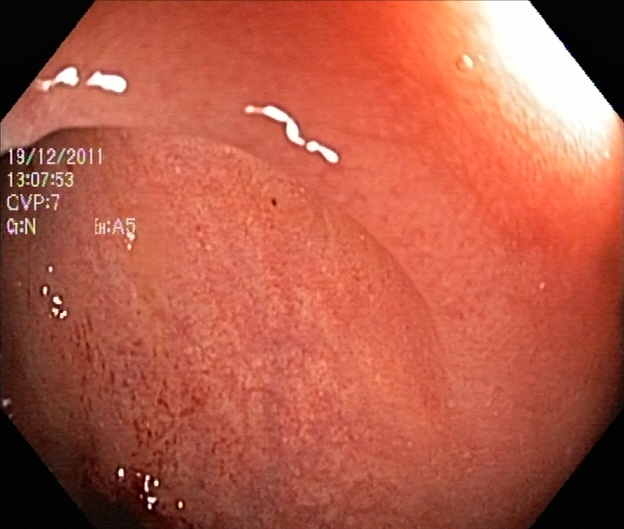Lower-GI endoscopy image of the lower GI tract showing ulcerative colitis, Mayo endoscopic subscore 1.